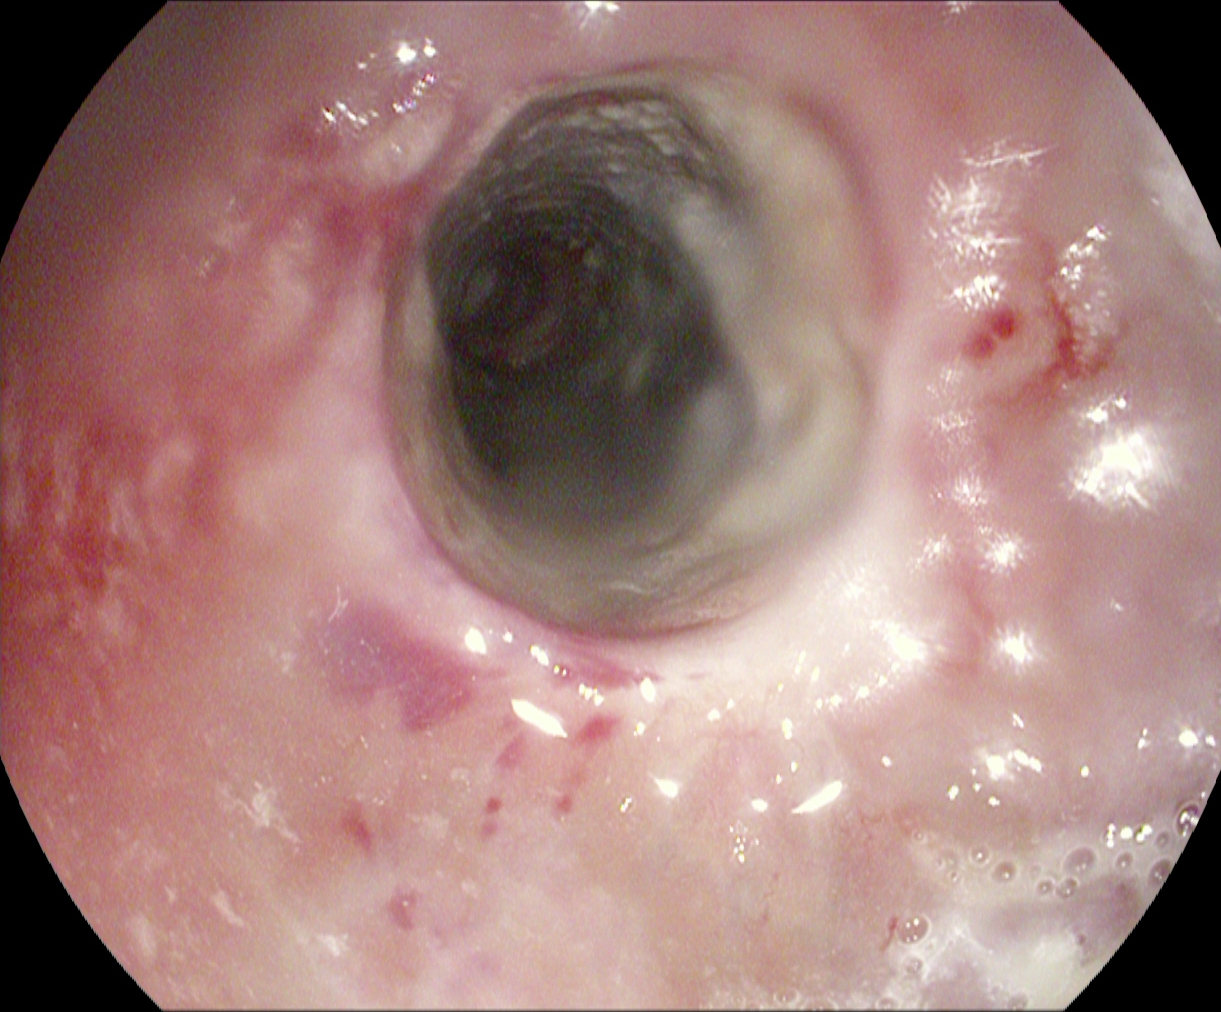This endoscopy frame shows reflux esophagitis, Los Angeles grade B–D.